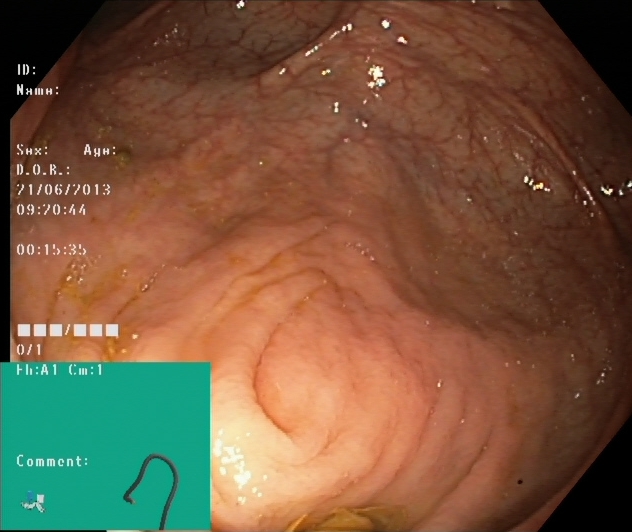Colonoscopy image showing cecum.